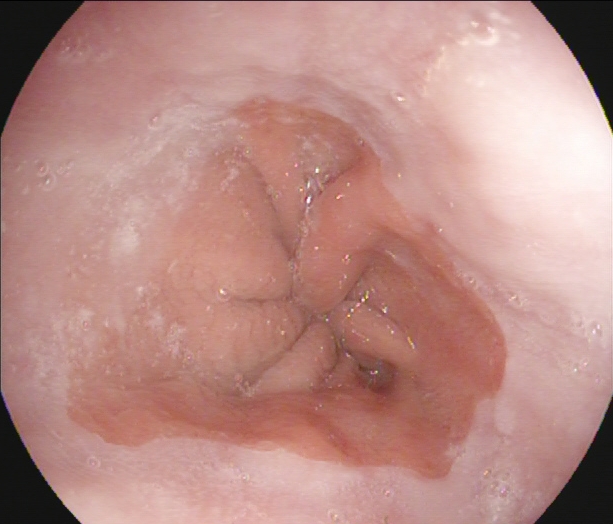Gastroscopy — Z-line (gastroesophageal junction).